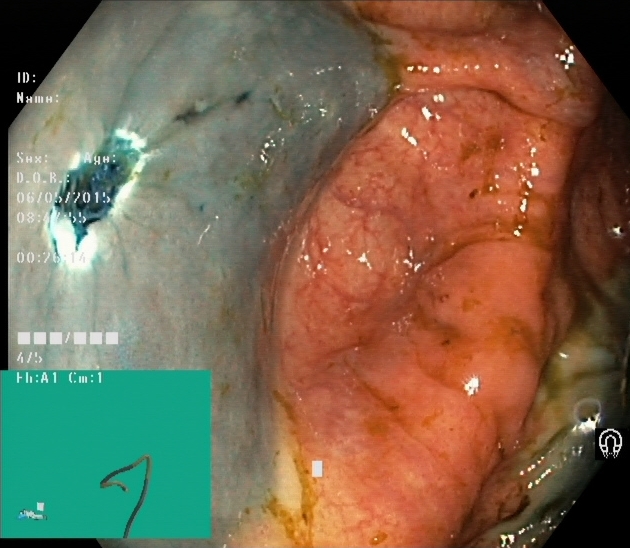modality: colonoscopy
tract: lower GI tract
finding: dyed resection margins (post-polypectomy)